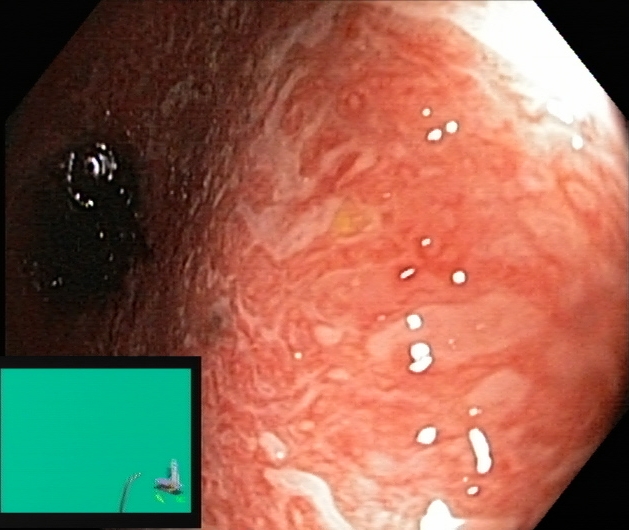{"modality": "lower gastrointestinal endoscopy", "tract": "lower GI tract", "category": "pathological finding", "finding": "UC, Mayo endoscopic subscore 2"}